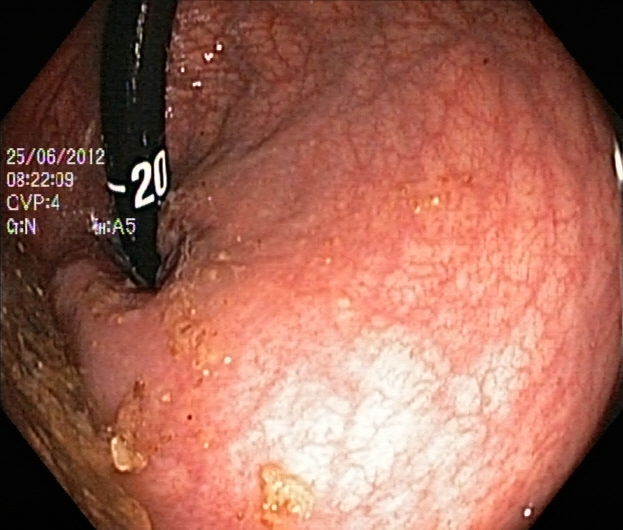modality: colonoscopy
finding: rectum in retroflexion